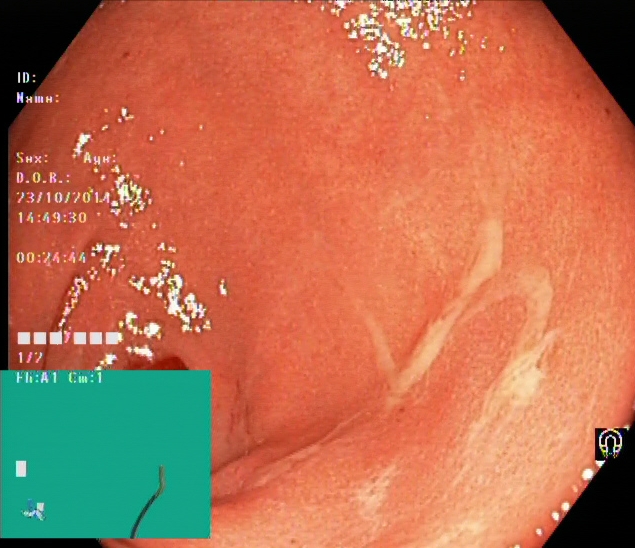Colonoscopy. Tract: lower GI tract. Pathological finding. Finding: ulcerative colitis, Mayo endoscopic subscore 2.